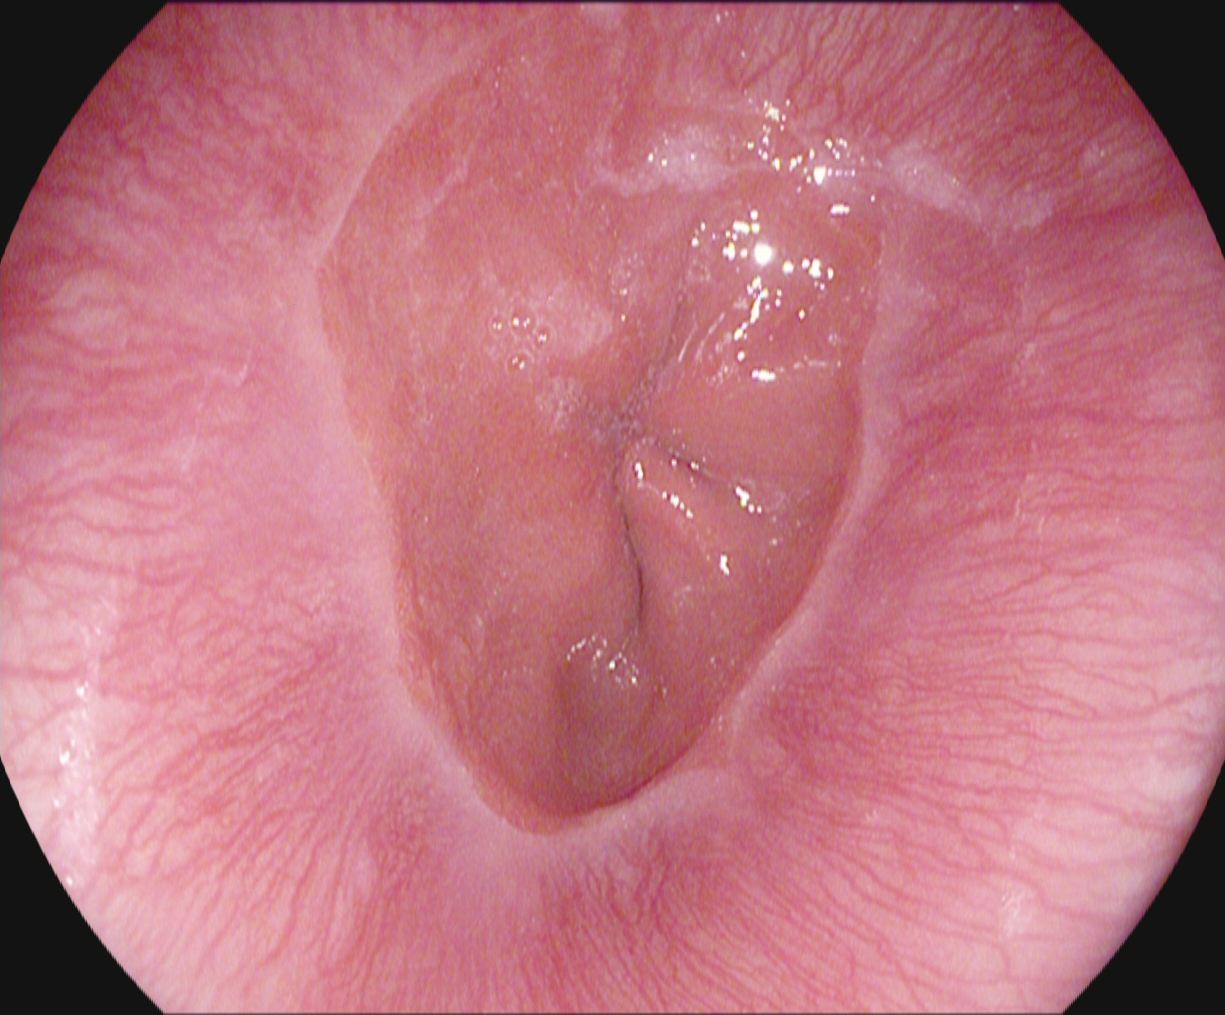modality: gastroscopy | tract: upper GI tract | finding: Z-line (gastroesophageal junction)